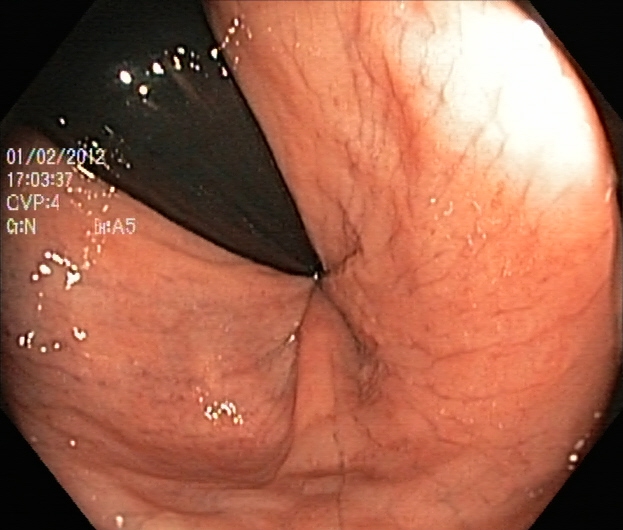PROCEDURE: Colonoscopy.
CATEGORY: Anatomical landmark.
FINDINGS: Rectum in retroflexion.